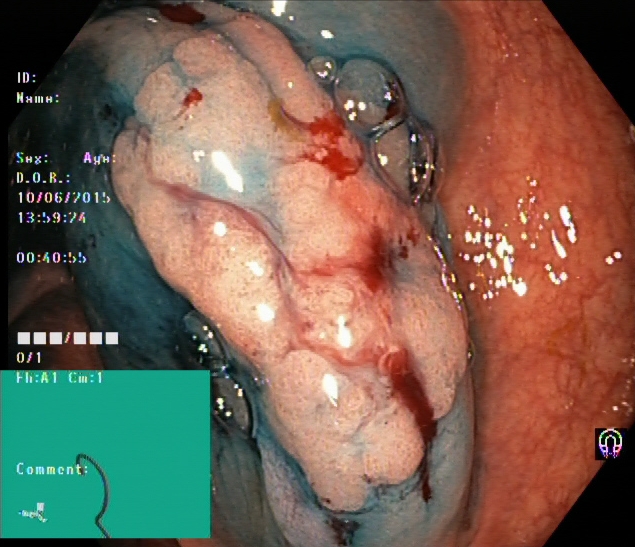PROCEDURE: Lower-GI endoscopy.
FINDINGS: Dyed and lifted polyp (pre-resection).